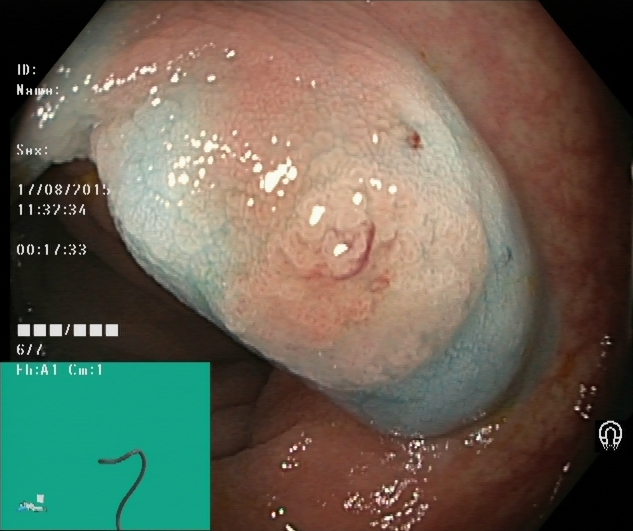{"modality": "colonoscopy", "finding": "dyed and lifted polyp (pre-resection)"}